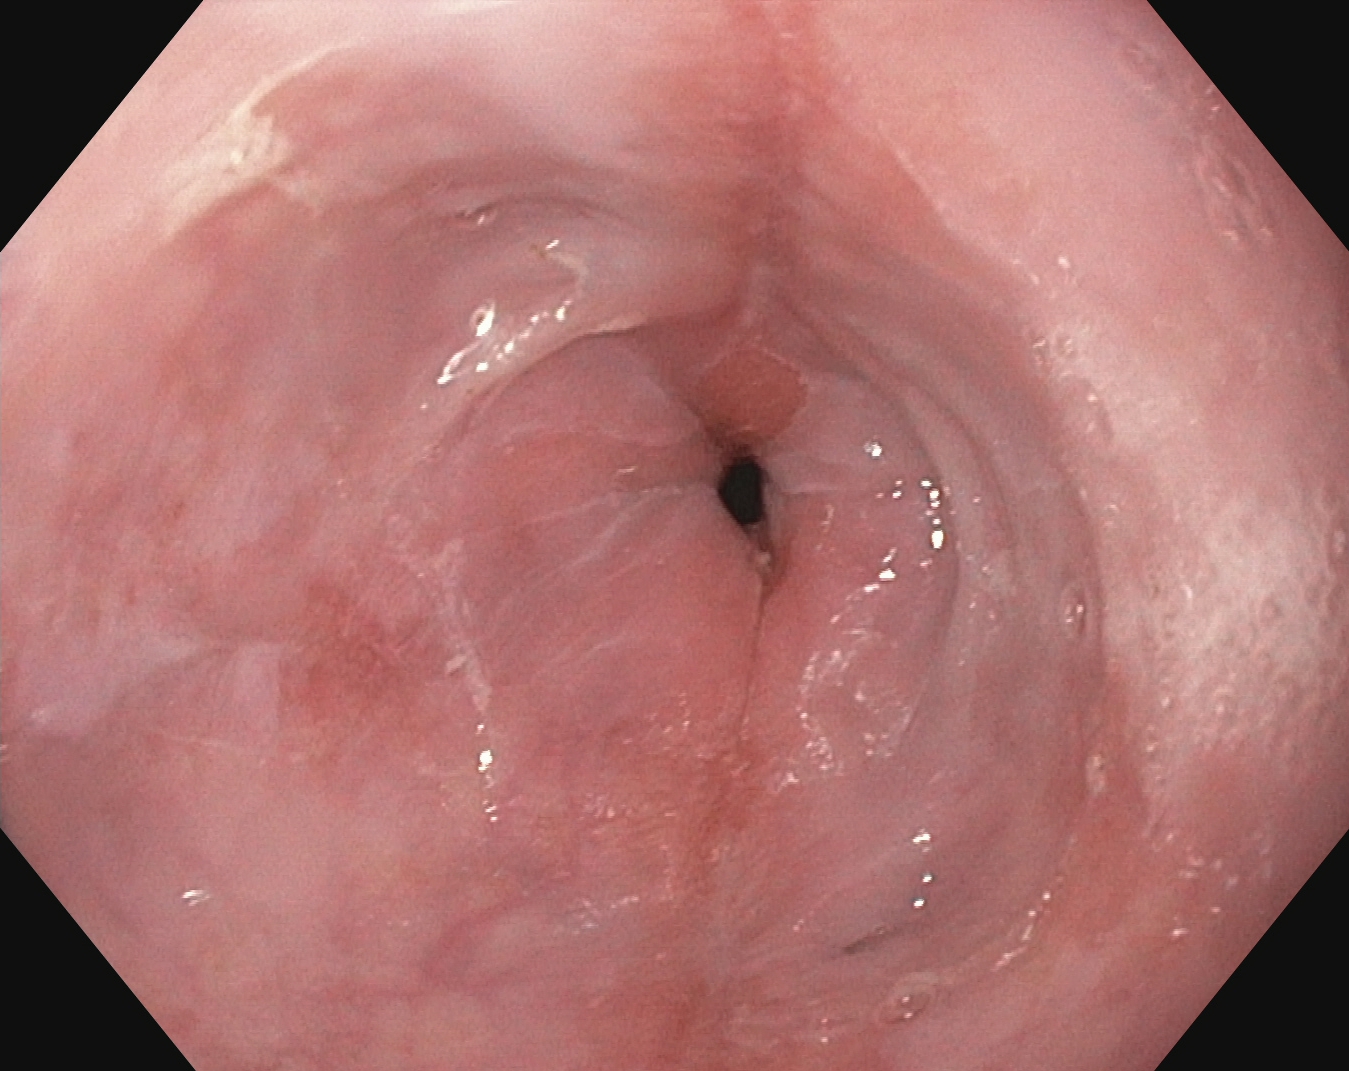modality: gastroscopy; finding: reflux esophagitis, LA grade B–D